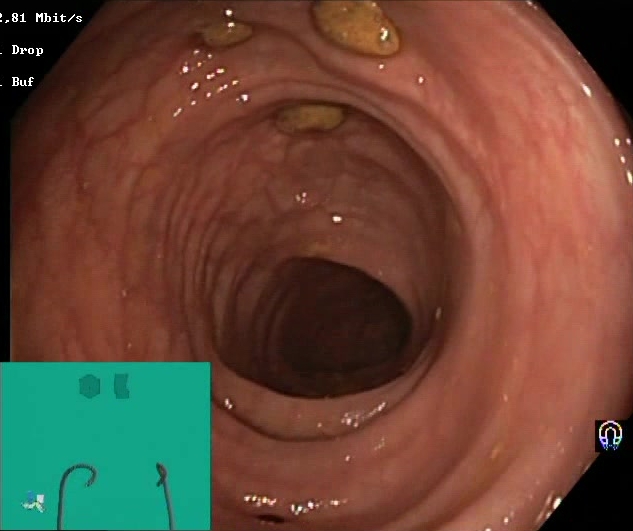Colonoscopy — impacted stool.